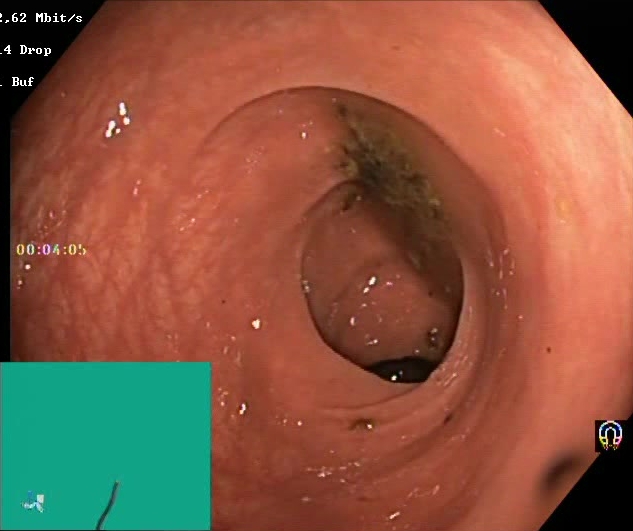Colonoscopy. Tract: lower GI tract. Finding: Boston Bowel Preparation Scale score 0–1 (inadequate preparation).